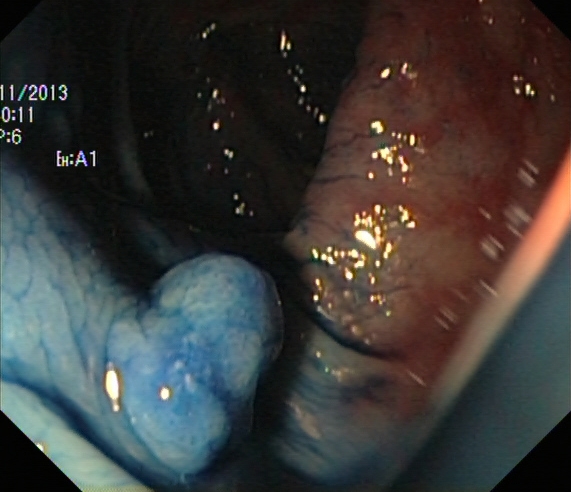This endoscopic image of the lower GI tract shows dyed and lifted polyp (pre-resection).